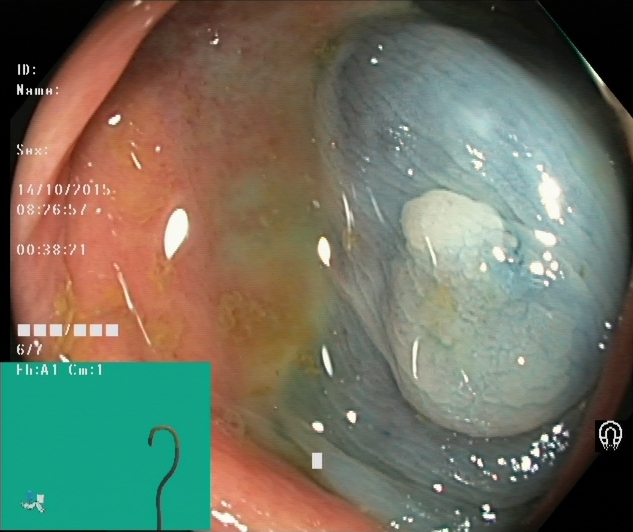Dyed and lifted polyp (pre-resection).